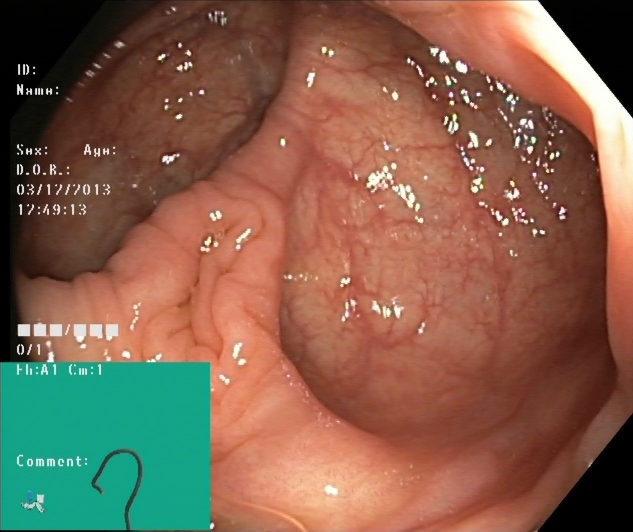{"modality": "colonoscopy", "tract": "lower GI tract", "category": "anatomical landmark", "finding": "cecum"}